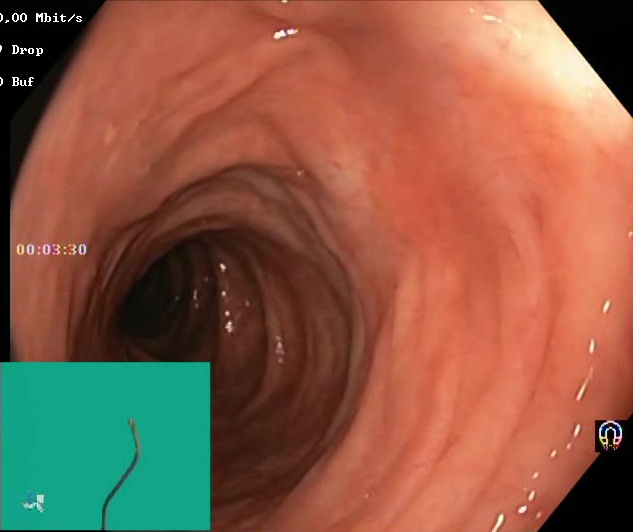Colonoscopy. Mucosal-view quality. Finding: Boston Bowel Preparation Scale score 2–3 (adequate preparation).